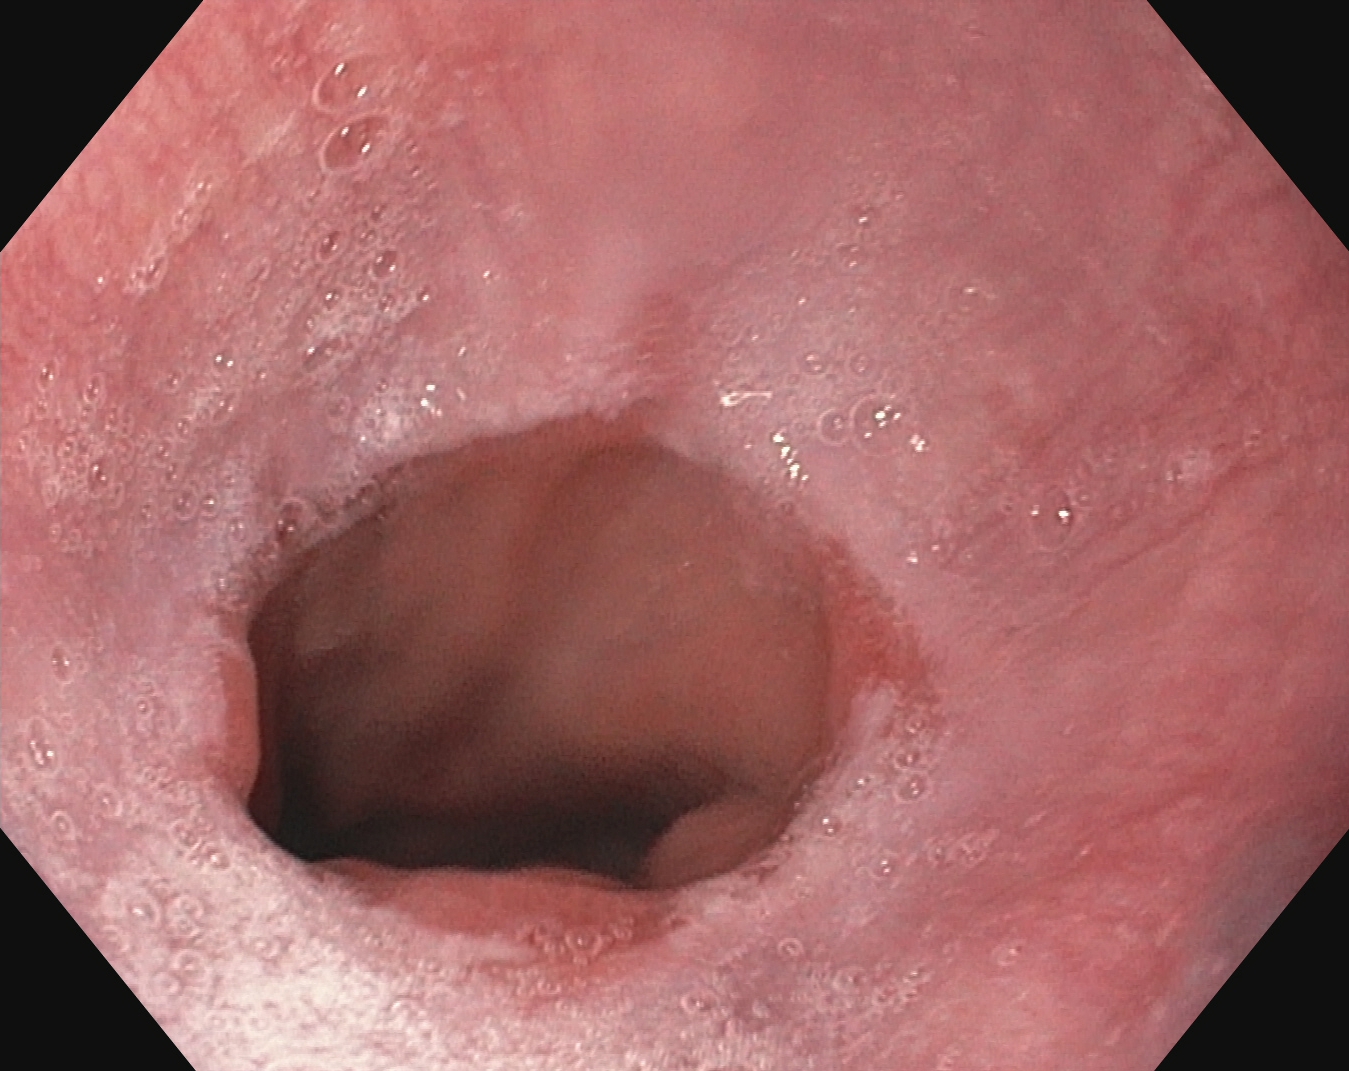EGD. Finding: reflux esophagitis, Los Angeles grade A.